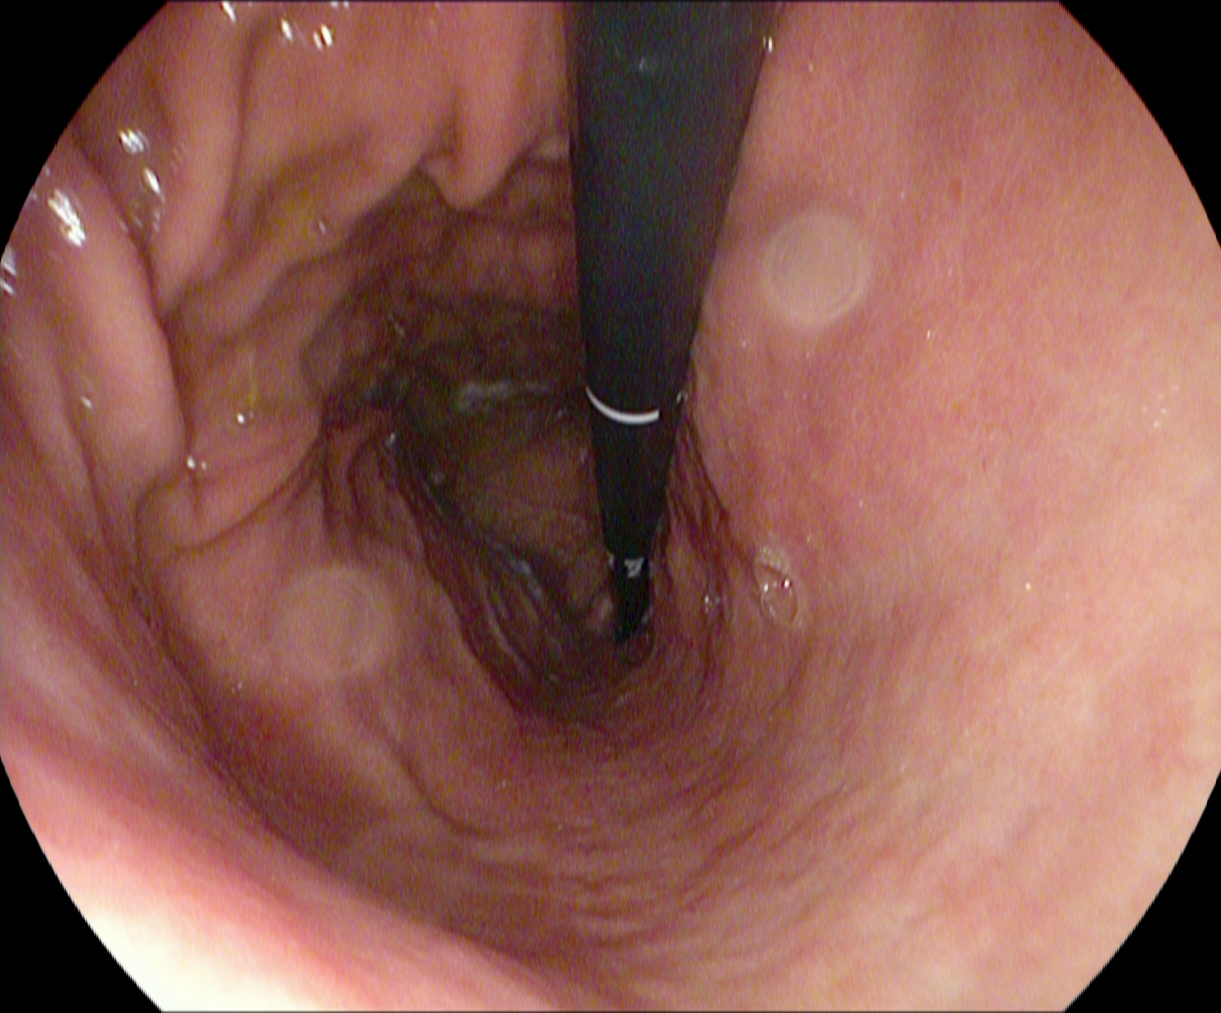Upper-GI endoscopy — stomach in retroflexion.